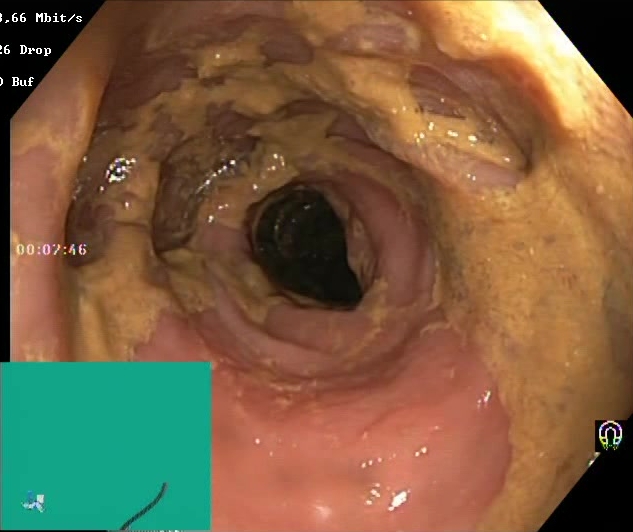Boston Bowel Preparation Scale score 0–1 (inadequate preparation).